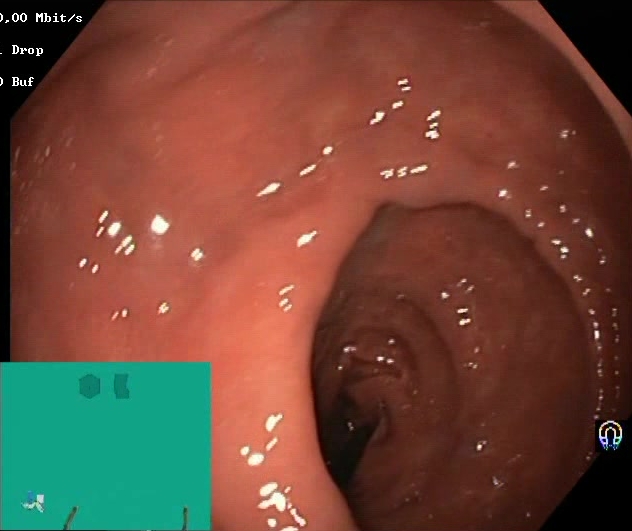modality: colonoscopy
tract: lower GI tract
finding: Boston Bowel Preparation Scale score 2–3 (adequate preparation)